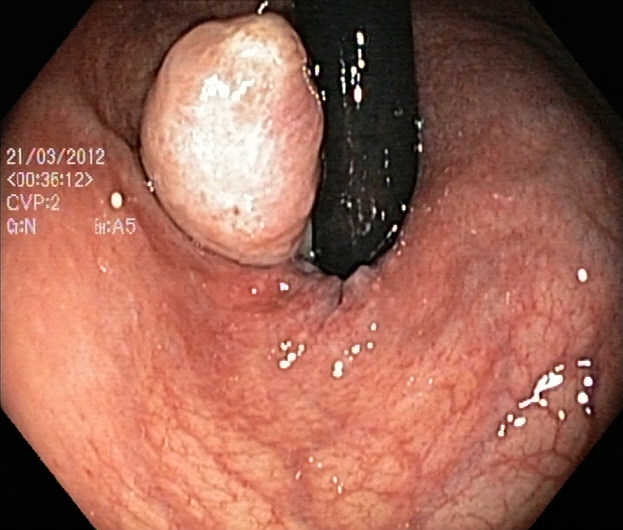GI endoscopy image of the lower GI tract showing colorectal polyp(s).